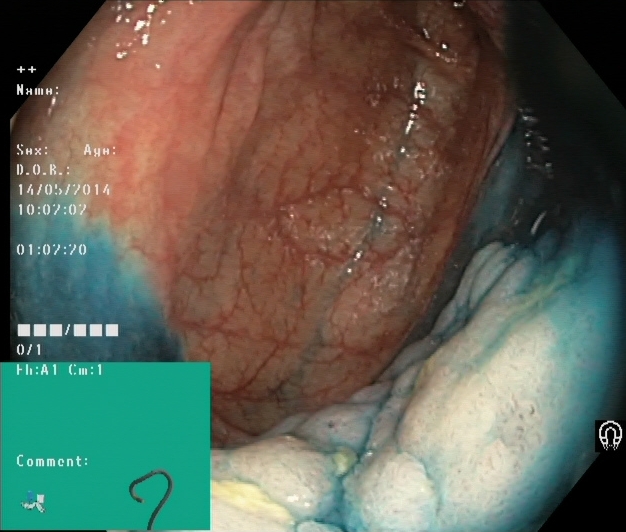This endoscopy frame shows dyed and lifted polyp (pre-resection).